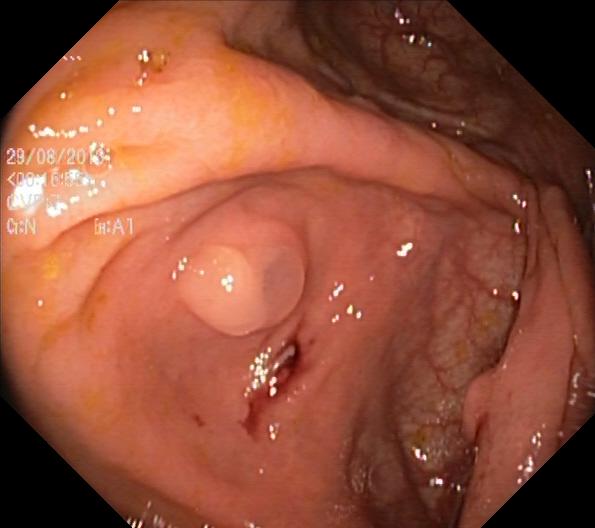{"modality": "lower-GI endoscopy", "tract": "lower GI tract", "finding": "colorectal polyp(s)"}